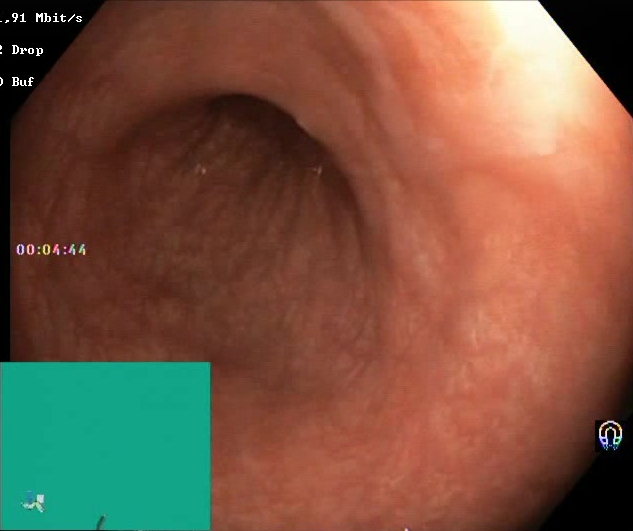{"modality": "lower gastrointestinal endoscopy", "category": "mucosal-view quality", "finding": "Boston Bowel Preparation Scale score 2\u20133 (adequate preparation)"}